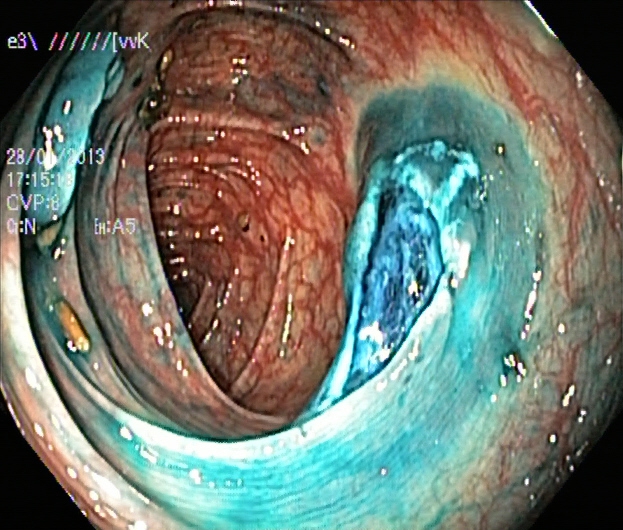Lower-GI endoscopy. Tract: lower GI tract. Finding: dyed resection margins (post-polypectomy).